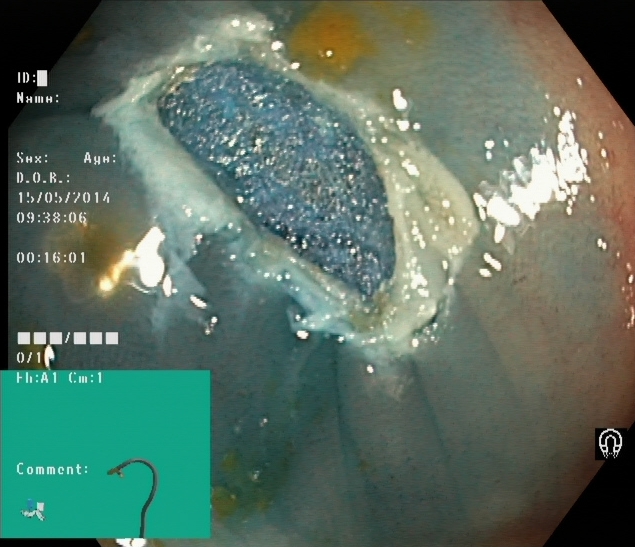This endoscopic image of the lower GI tract shows dyed resection margins (post-polypectomy).